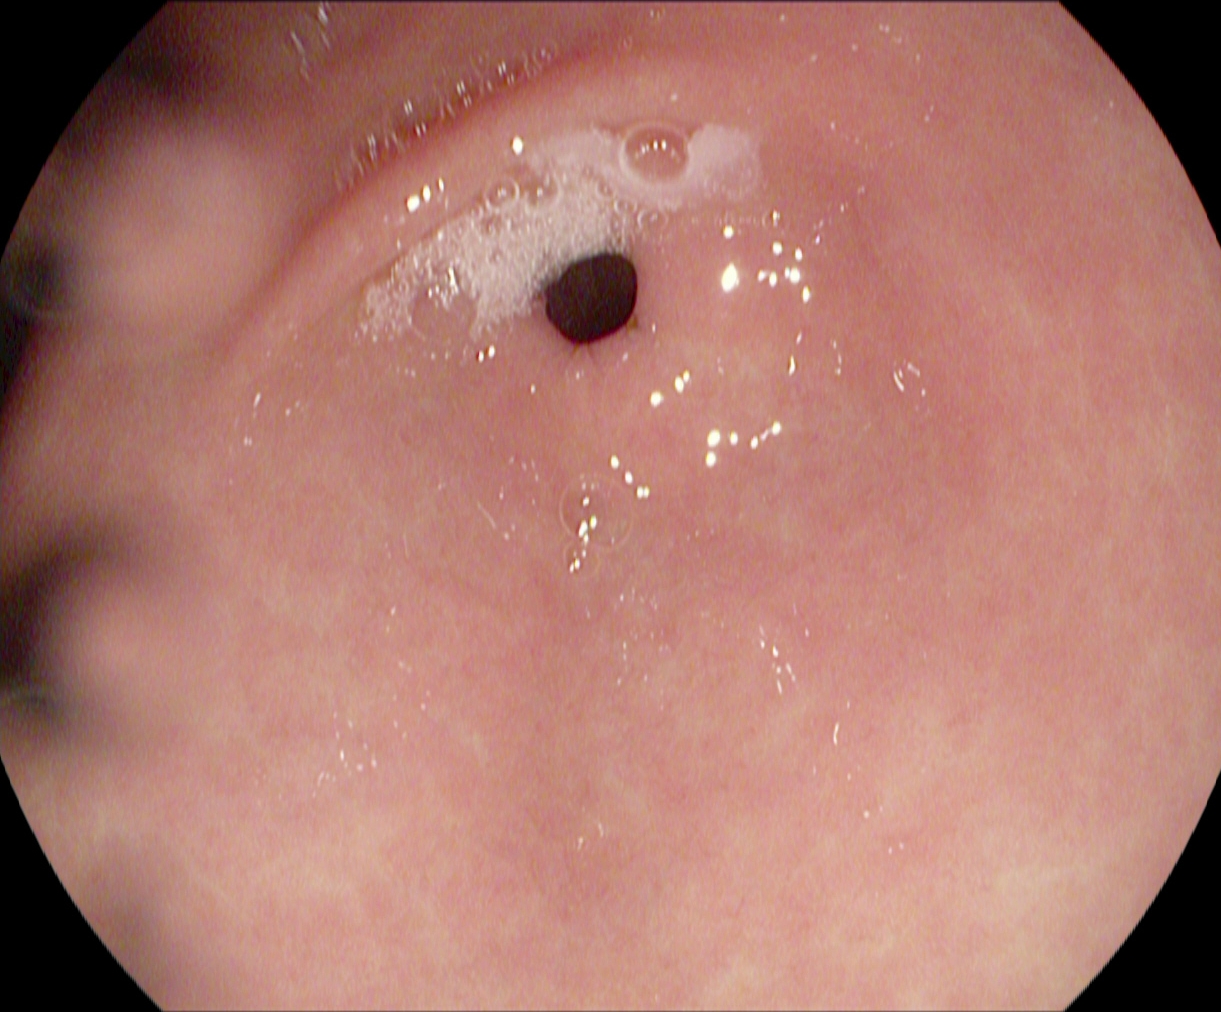PROCEDURE: EGD.
FINDINGS: Pylorus.